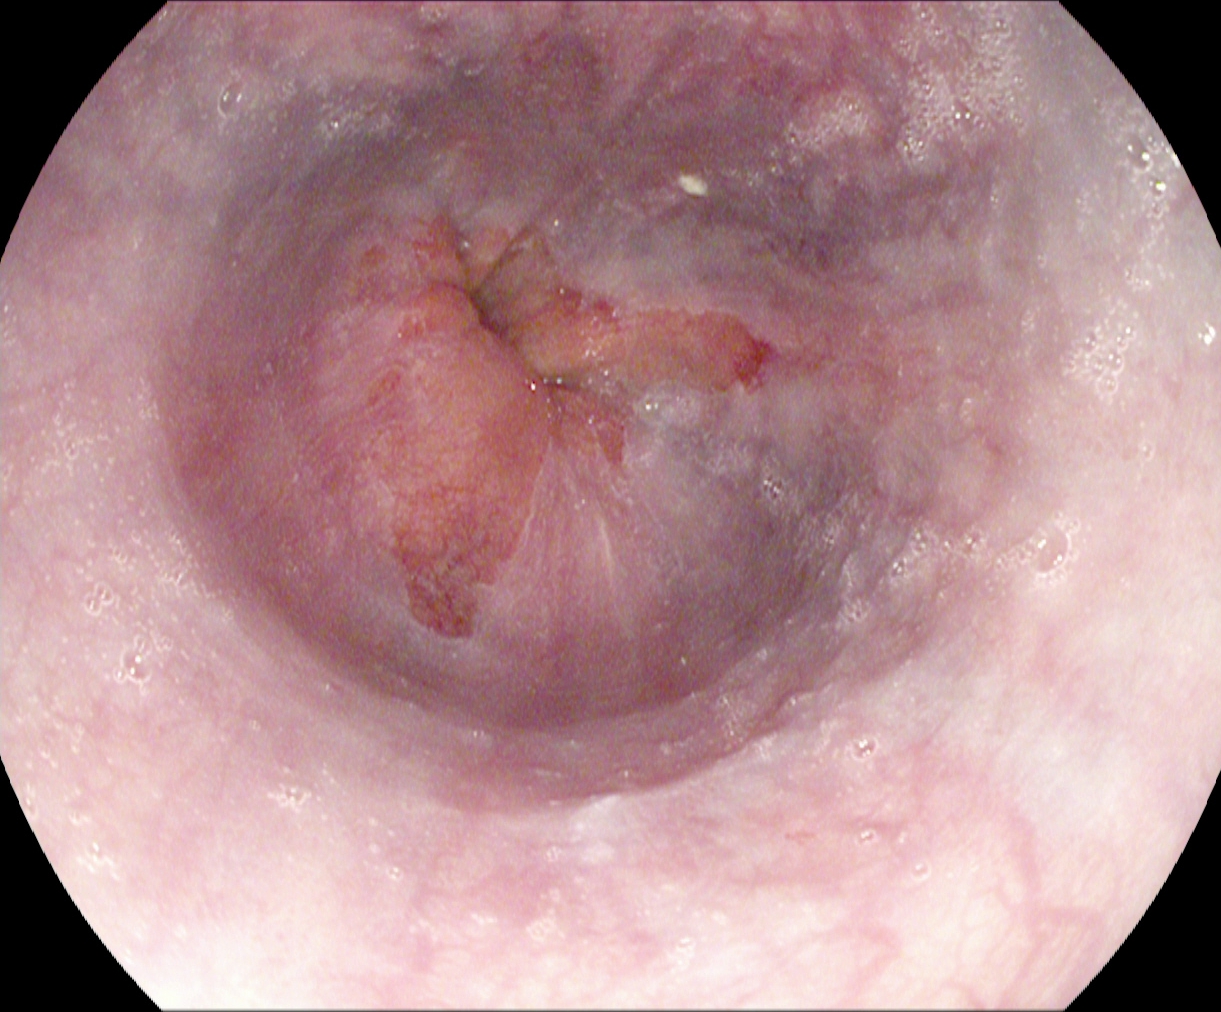Gastroscopy. Finding: Barrett's esophagus, short segment.